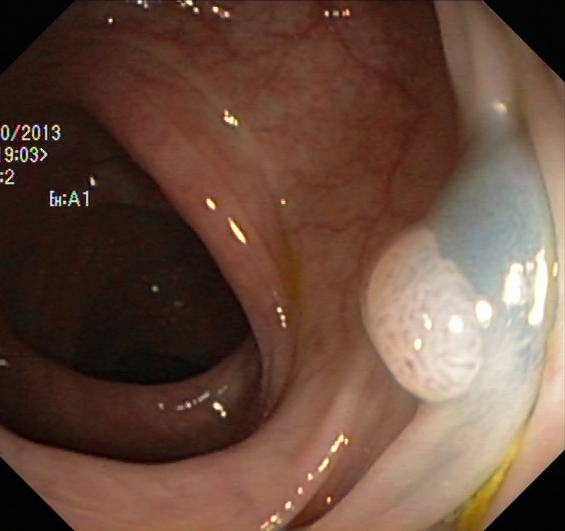Lower-GI endoscopy — dyed and lifted polyp (pre-resection).